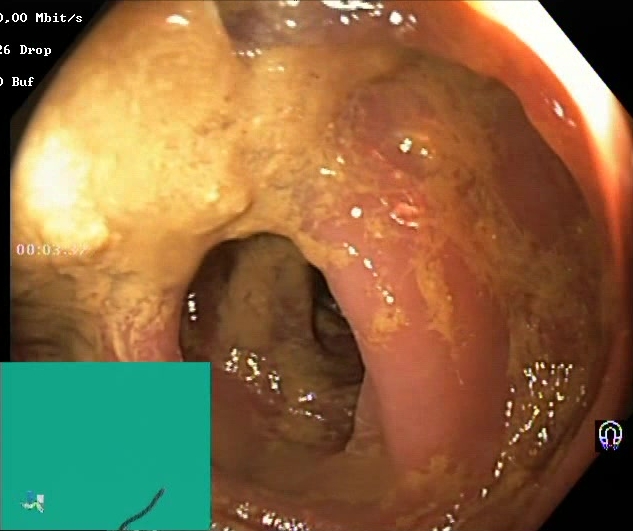This endoscopic image of the lower GI tract shows BBPS score 0–1 (inadequate preparation).